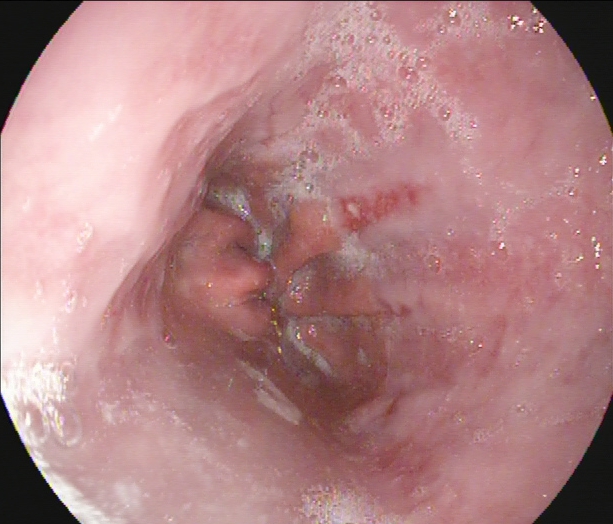{"modality": "gastroscopy", "tract": "upper GI tract", "finding": "reflux esophagitis, LA grade A"}